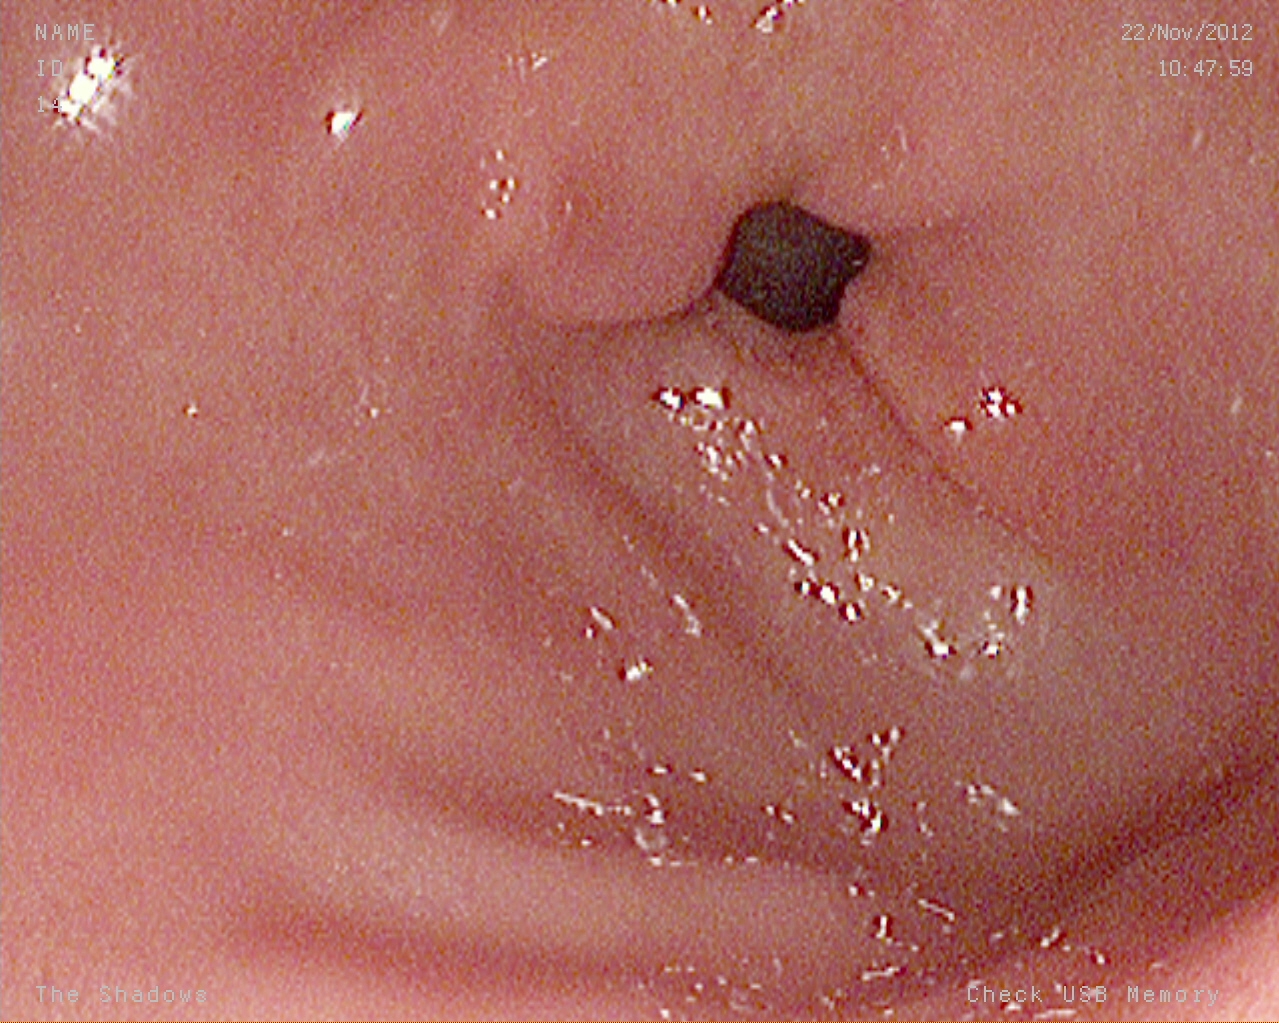modality: upper-GI endoscopy
tract: upper GI tract
finding: pylorus